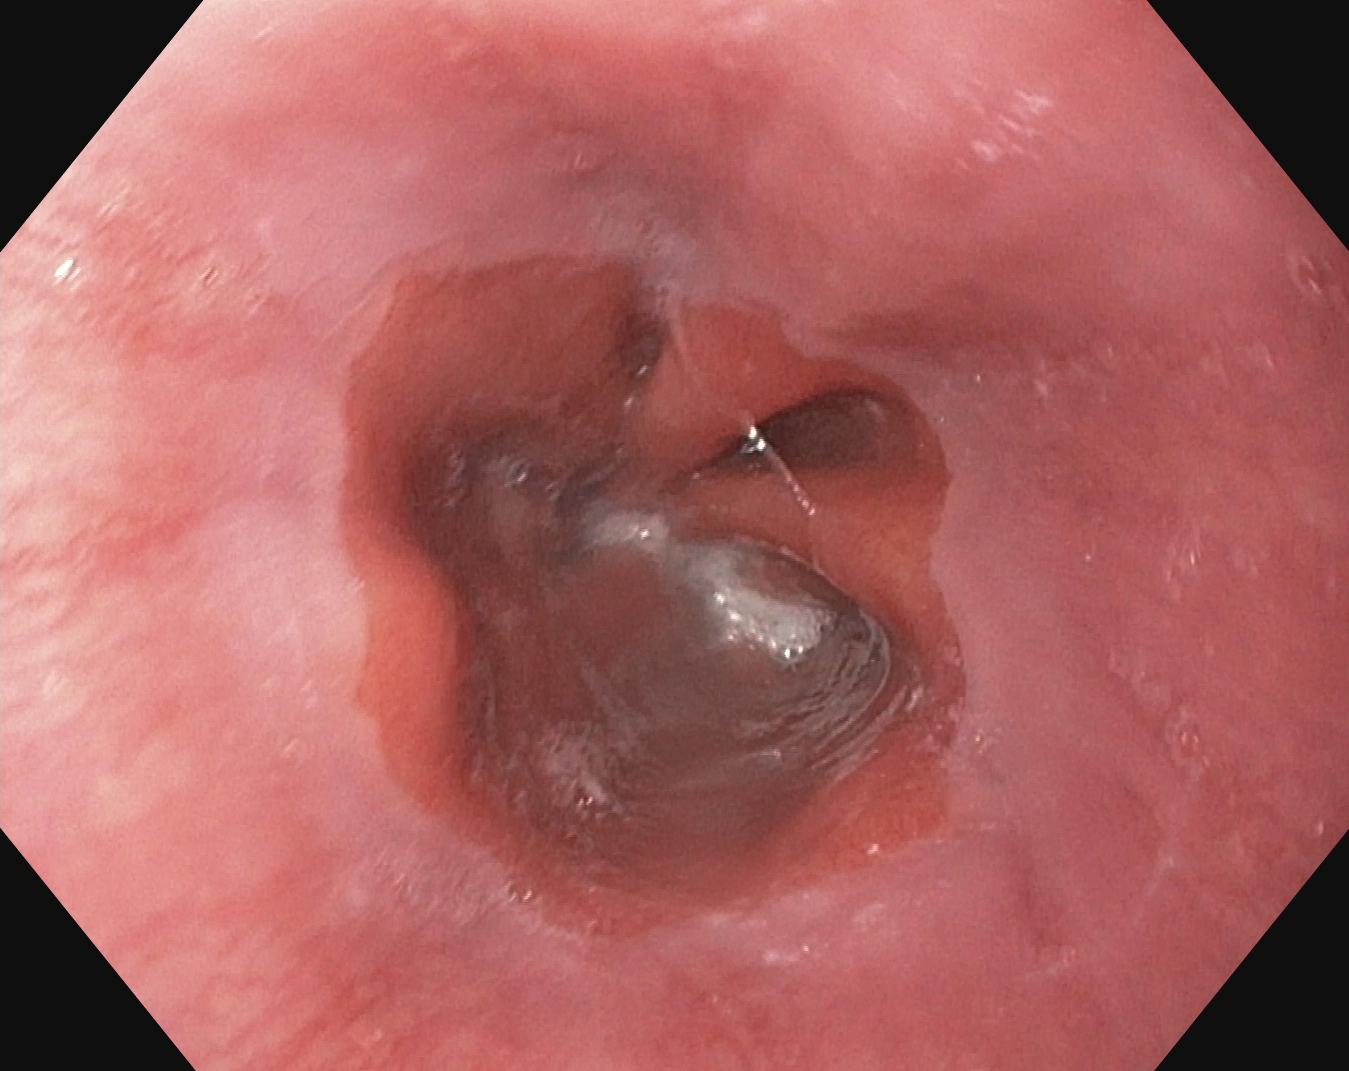This endoscopic image of the upper GI tract shows Z-line (gastroesophageal junction).